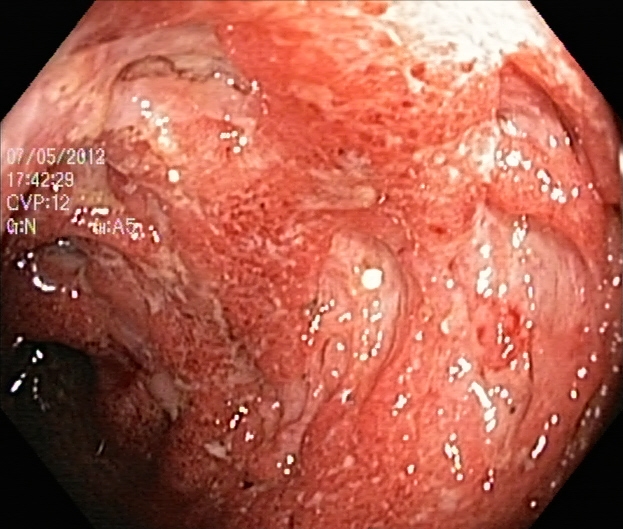Lower-GI endoscopy — UC, Mayo endoscopic subscore 3.